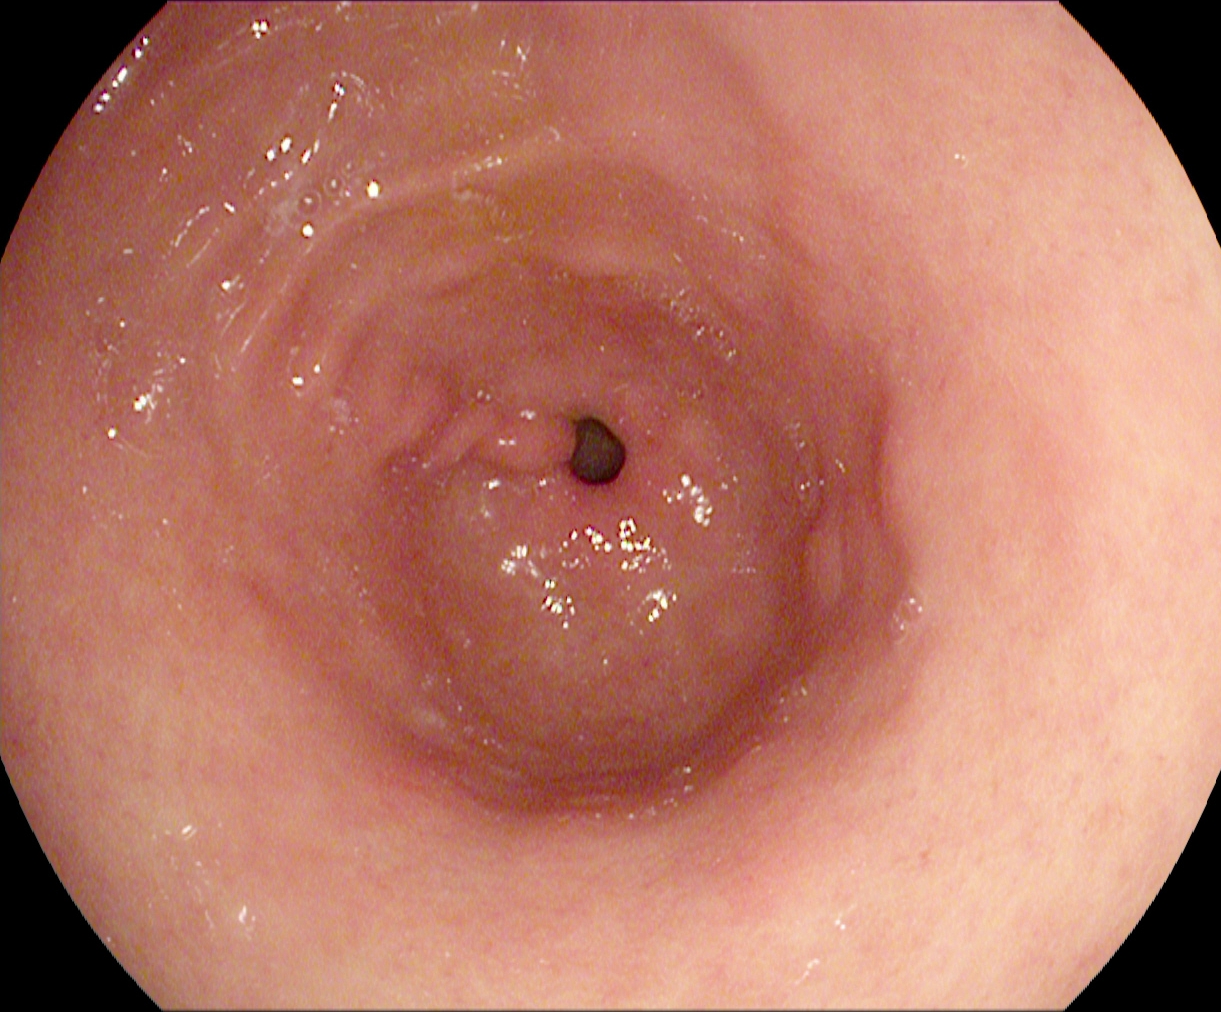{"modality": "esophagogastroduodenoscopy", "category": "anatomical landmark", "finding": "pylorus"}